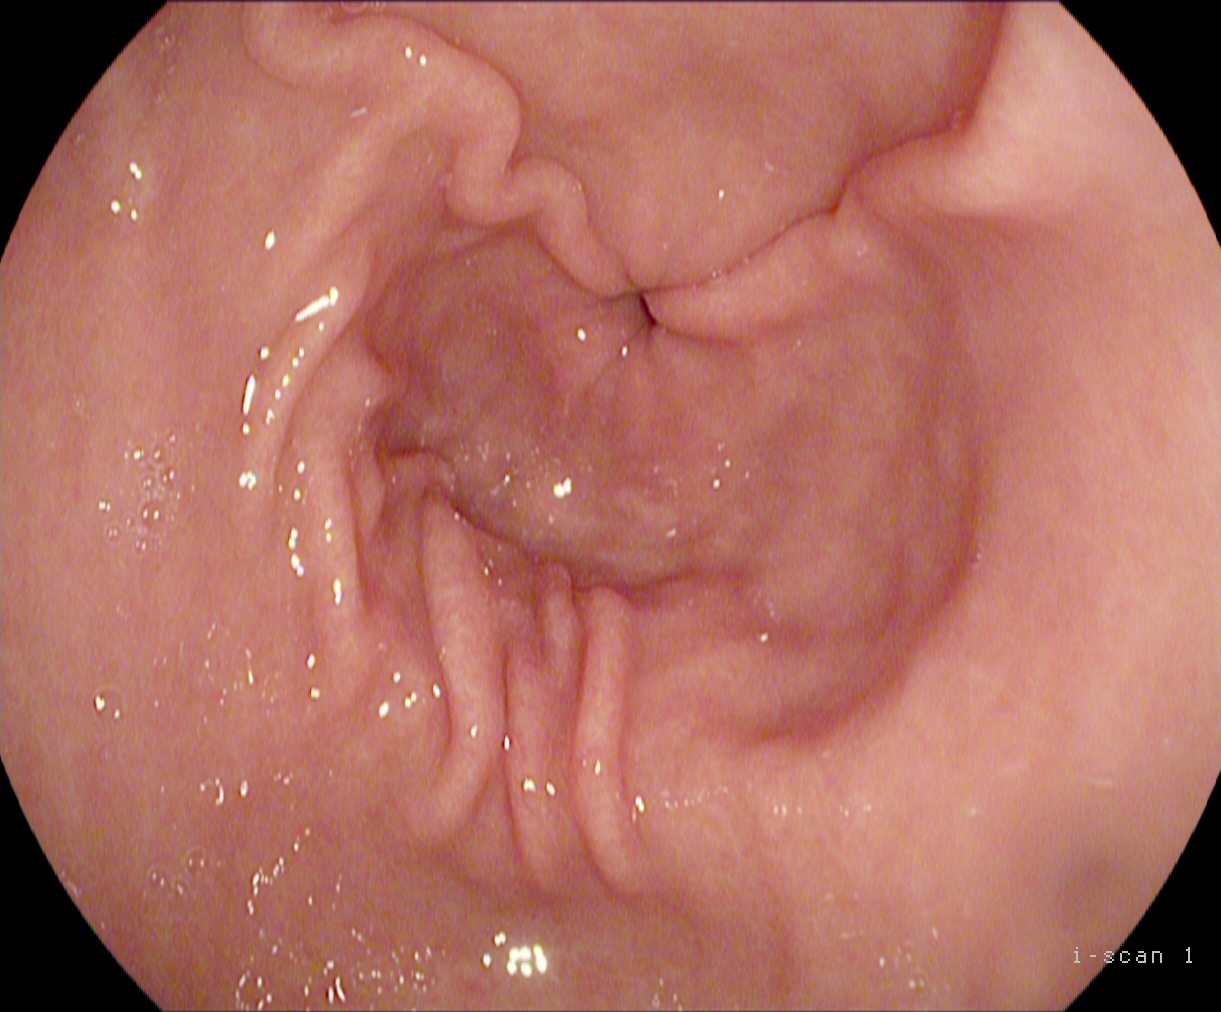Gastroscopy — pylorus.